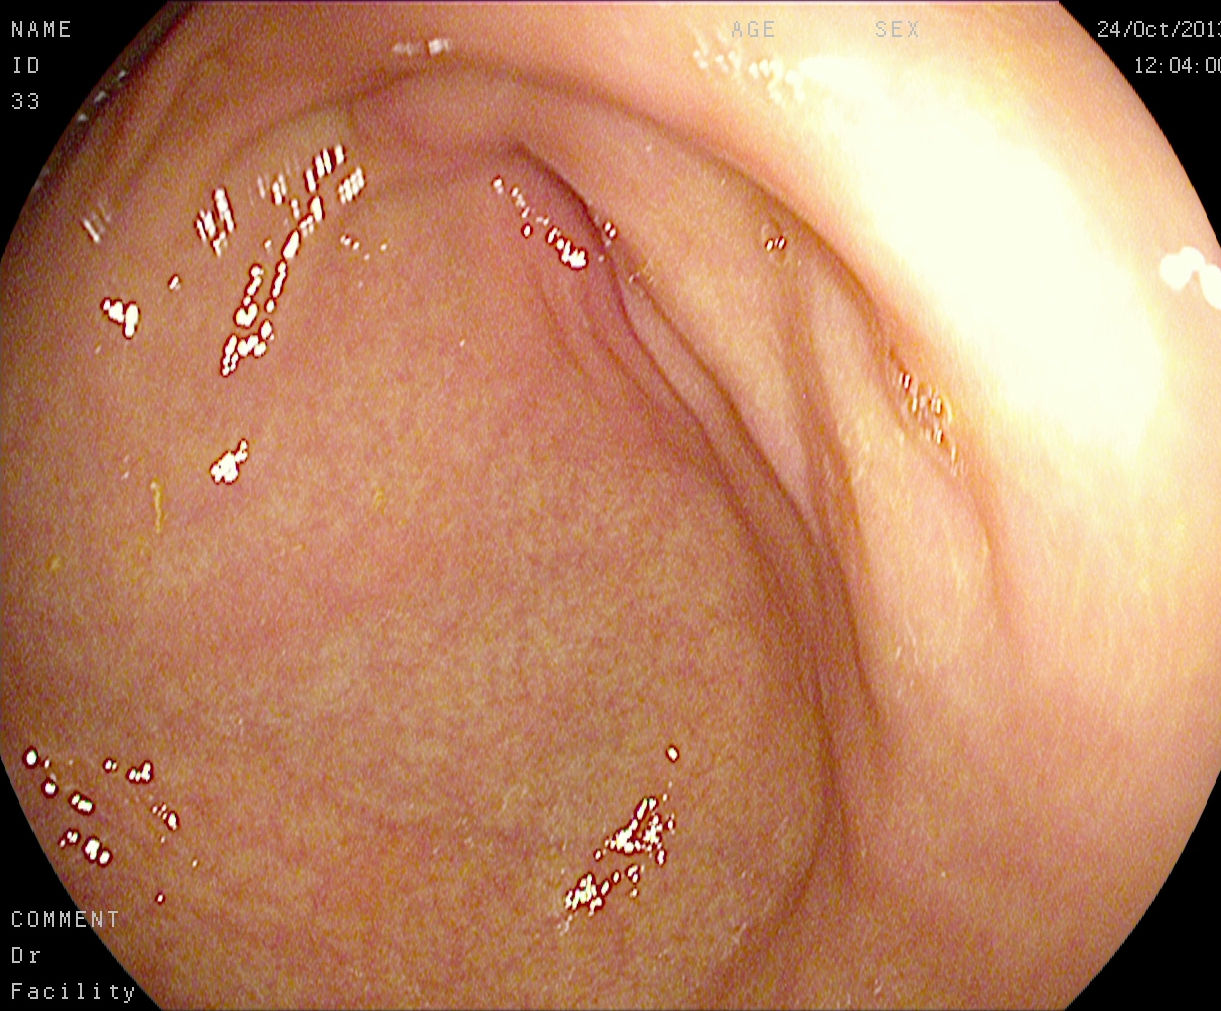This endoscopic image of the upper GI tract shows pylorus.